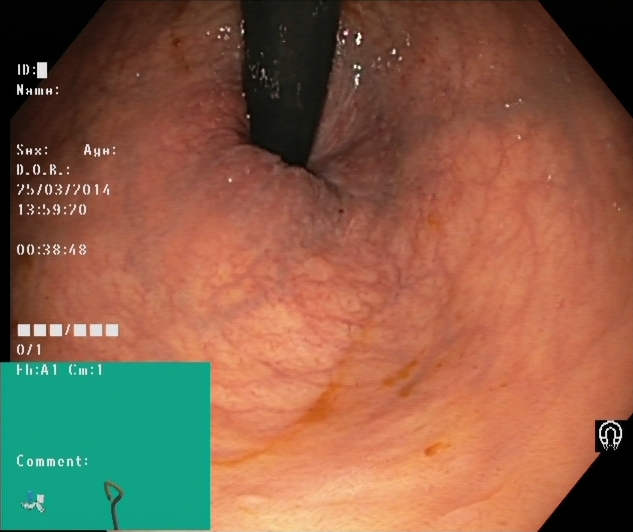modality: lower gastrointestinal endoscopy; tract: lower GI tract; finding: rectum in retroflexion